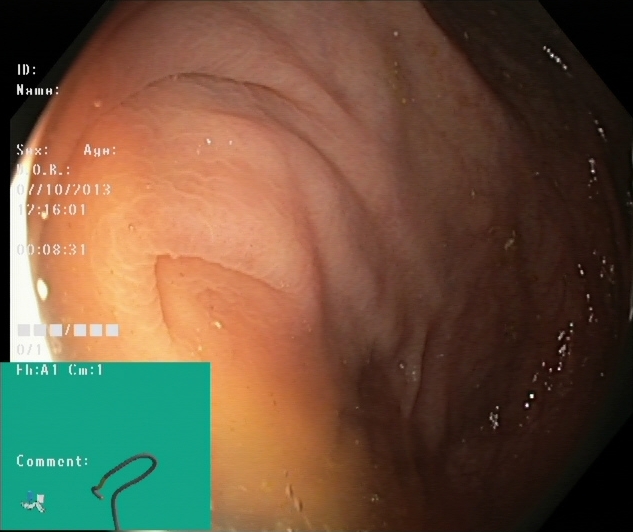Cecum.